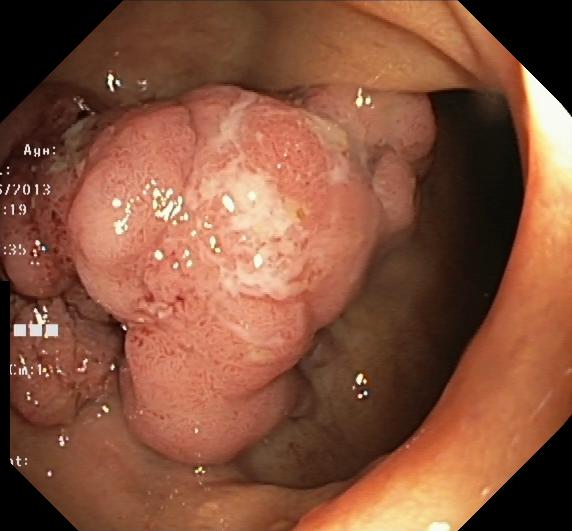modality: lower gastrointestinal endoscopy; tract: lower GI tract; finding: colorectal polyp(s)